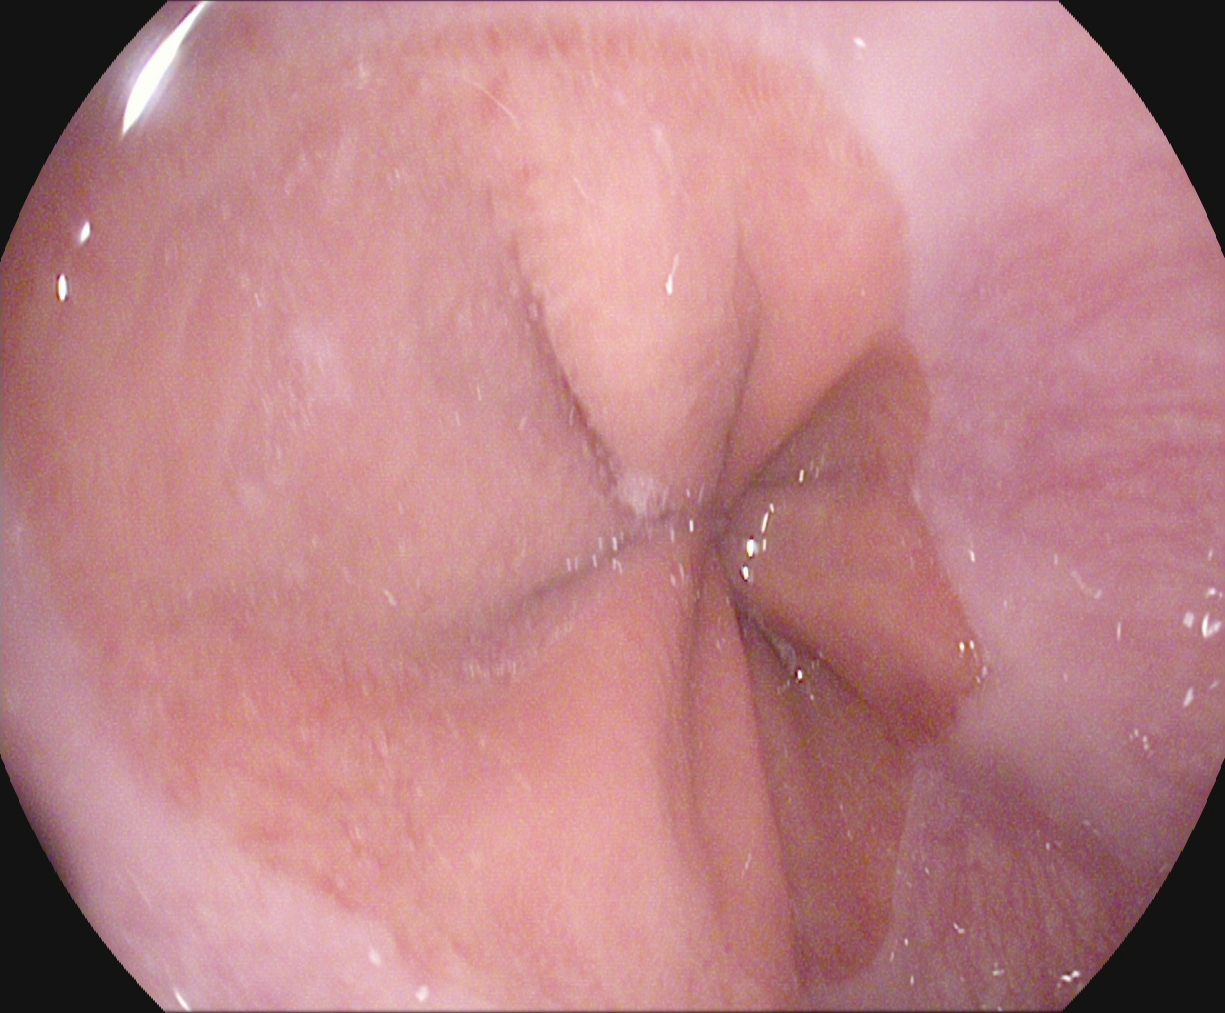modality: esophagogastroduodenoscopy
finding: Z-line (gastroesophageal junction)